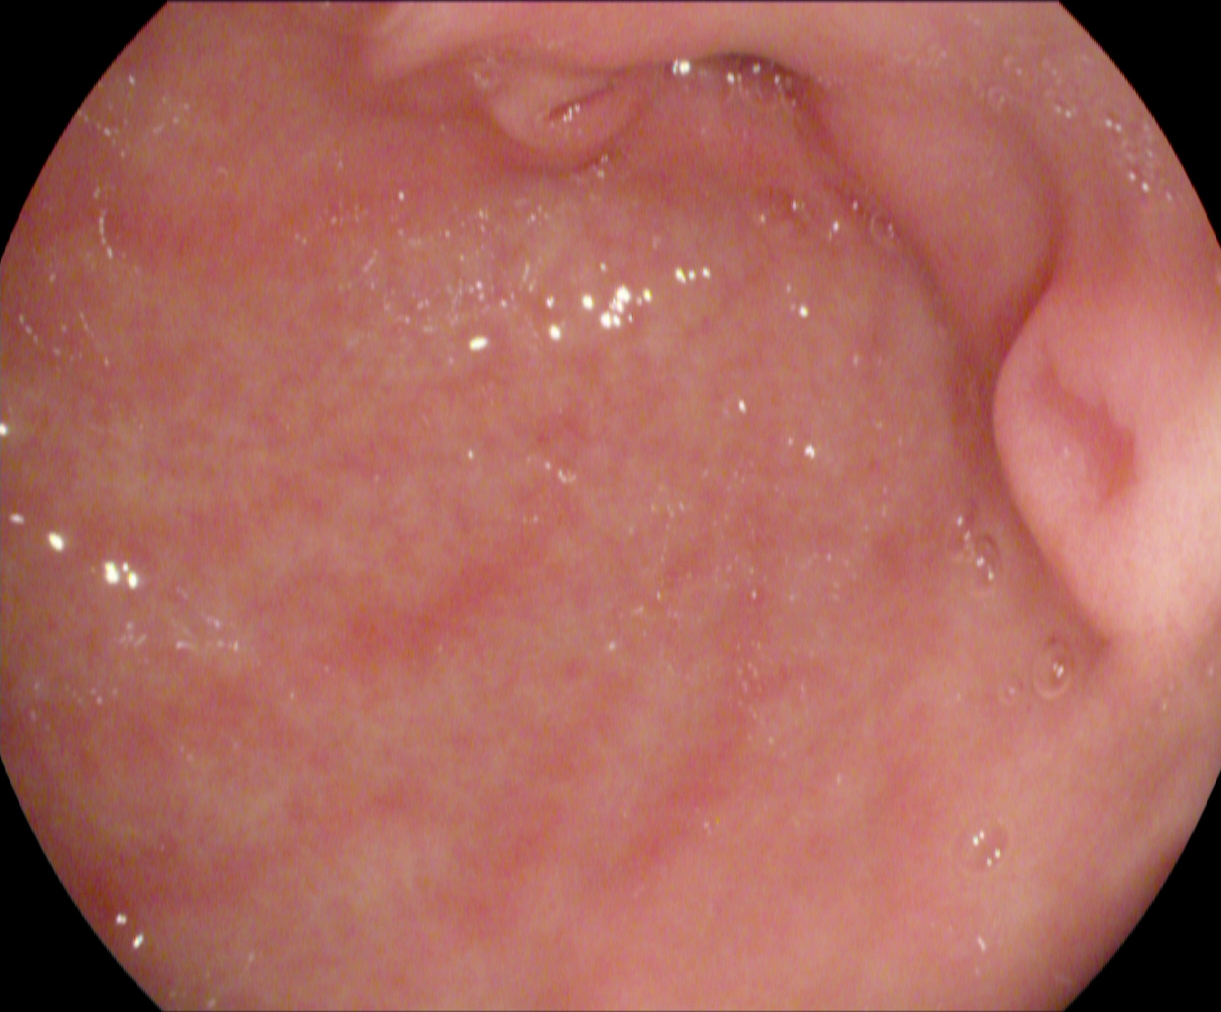Esophagogastroduodenoscopy — pylorus.